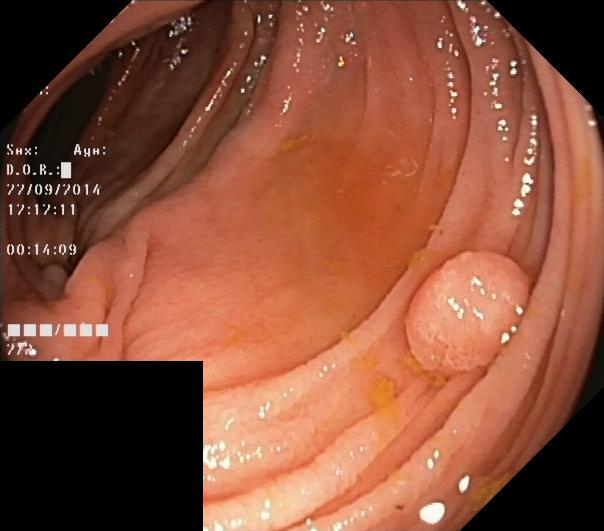Lower gastrointestinal endoscopy image of the lower GI tract showing colorectal polyp(s).